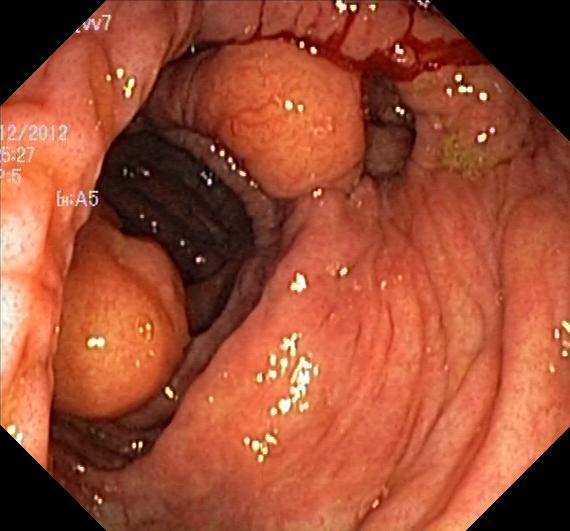modality: lower-GI endoscopy
tract: lower GI tract
category: pathological finding
finding: colorectal polyp(s)